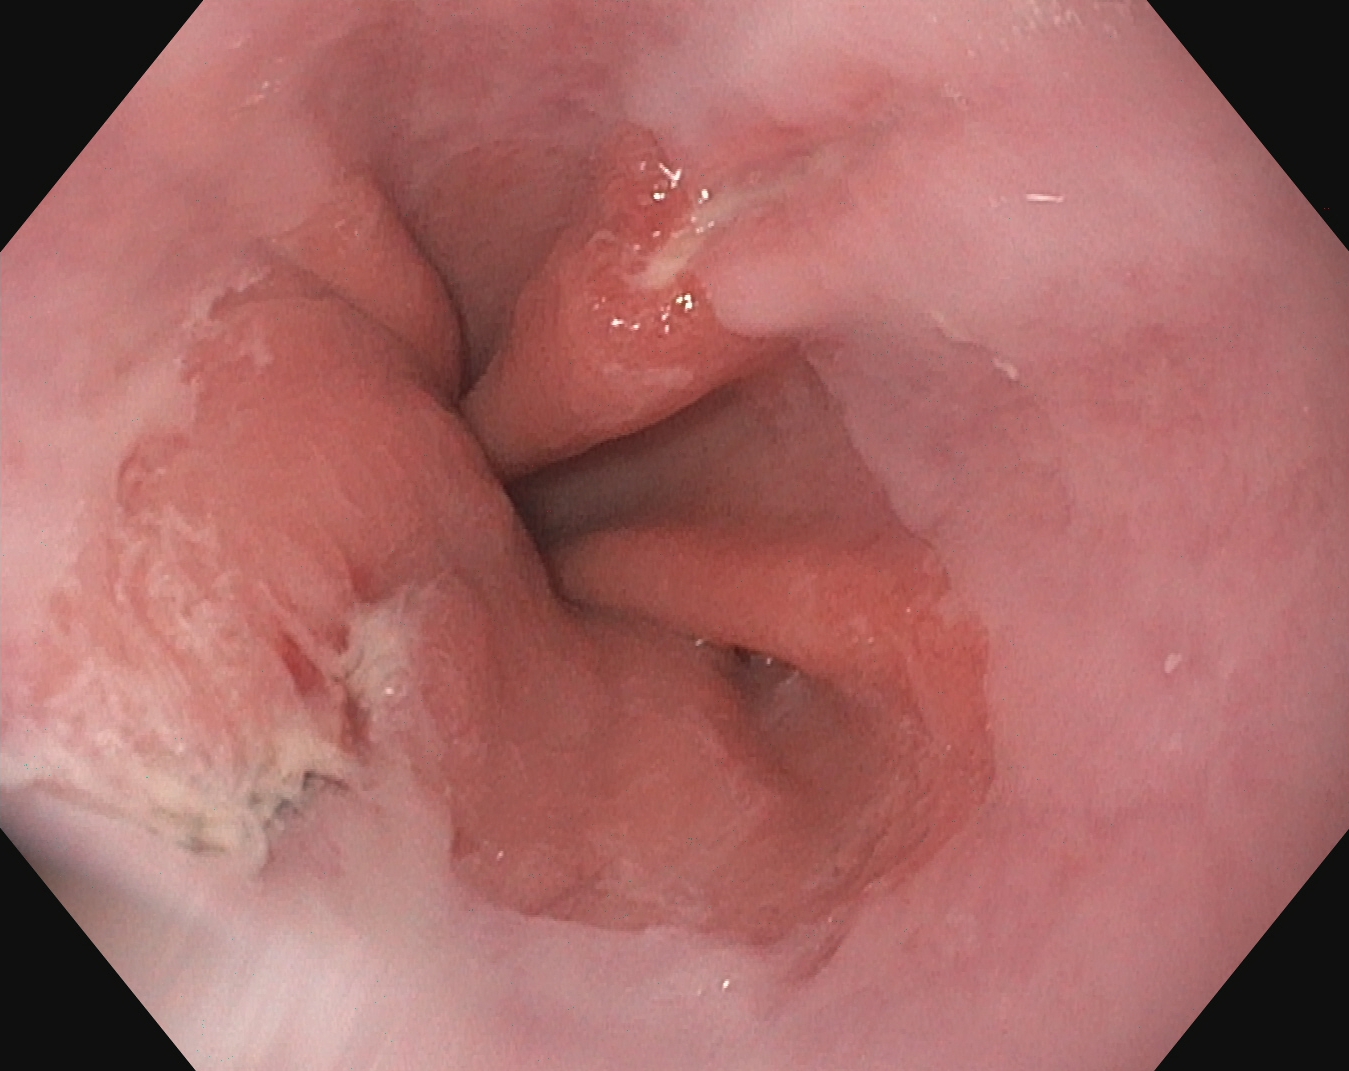{"modality": "upper-GI endoscopy", "tract": "upper GI tract", "category": "pathological finding", "finding": "reflux esophagitis, LA grade A"}